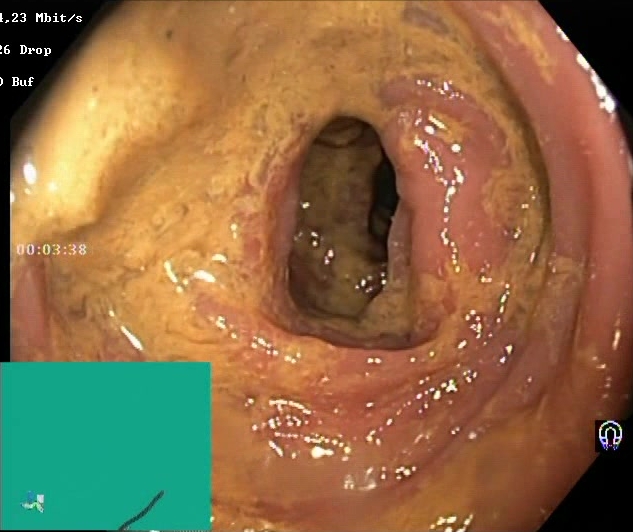Boston Bowel Preparation Scale score 0–1 (inadequate preparation).